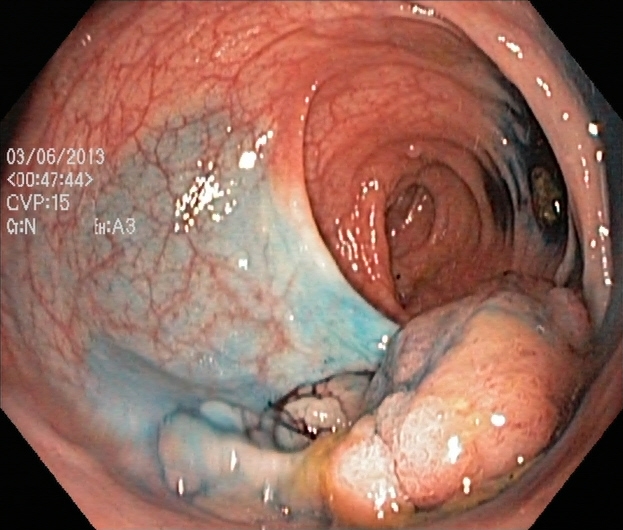Gastrointestinal endoscopy image of the lower GI tract showing dyed and lifted polyp (pre-resection).